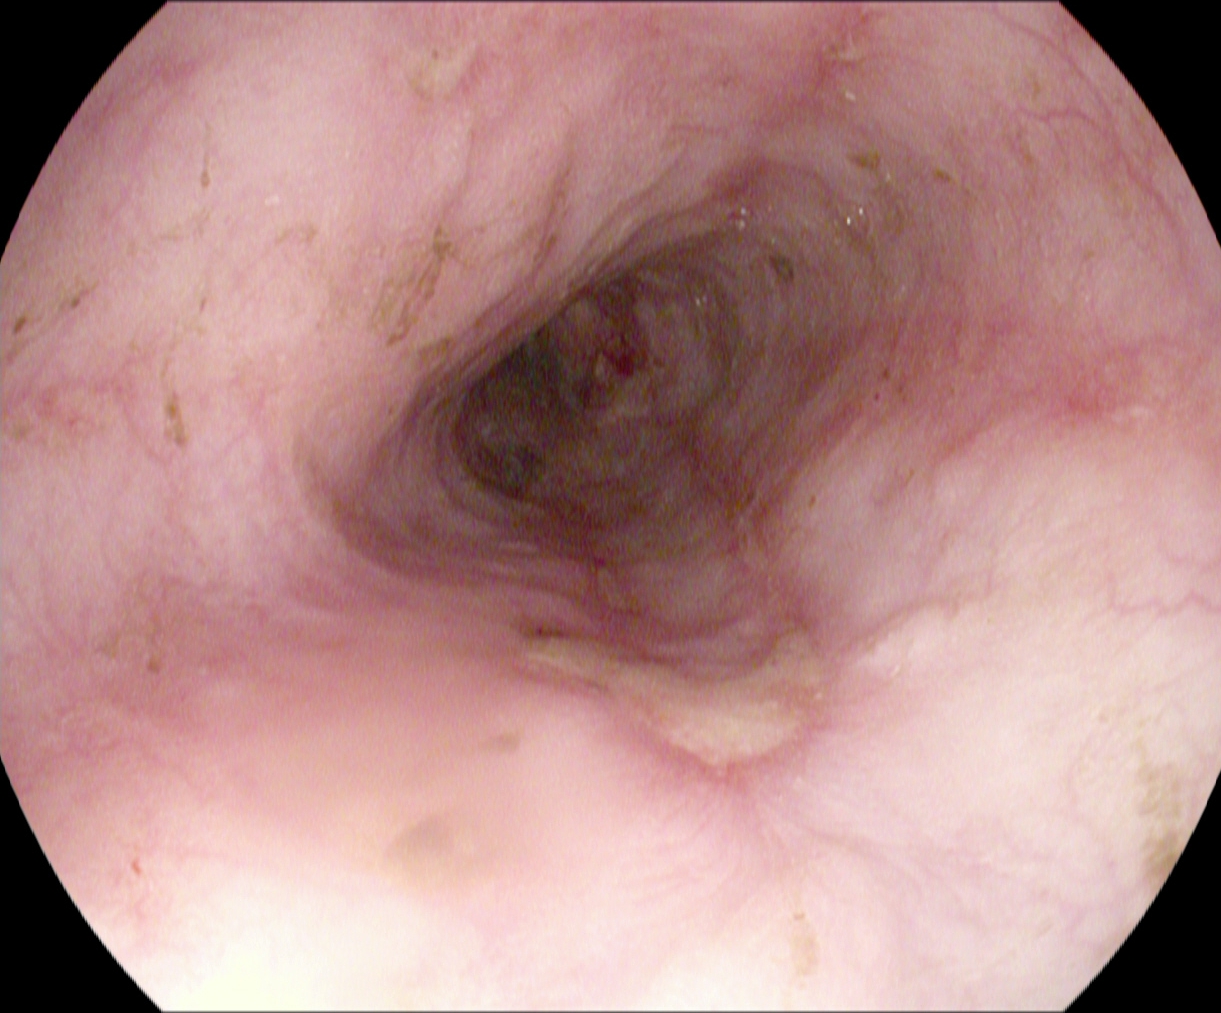Esophagogastroduodenoscopy. Tract: upper GI tract. Pathological finding. Finding: reflux esophagitis, Los Angeles grade B–D.